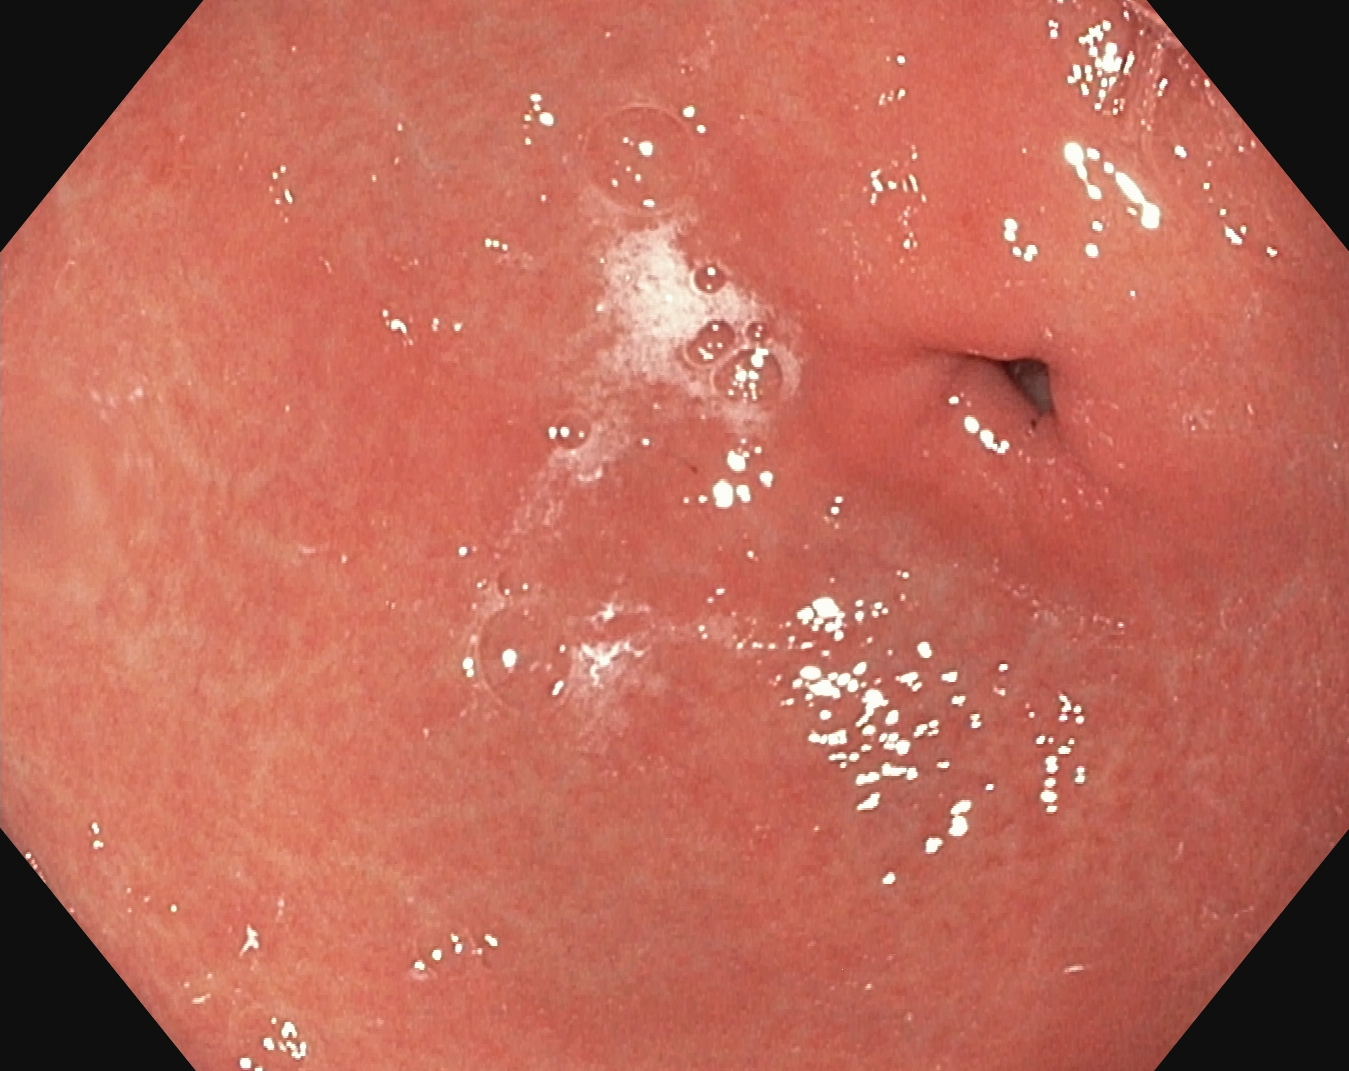{"modality": "EGD", "tract": "upper GI tract", "finding": "pylorus"}